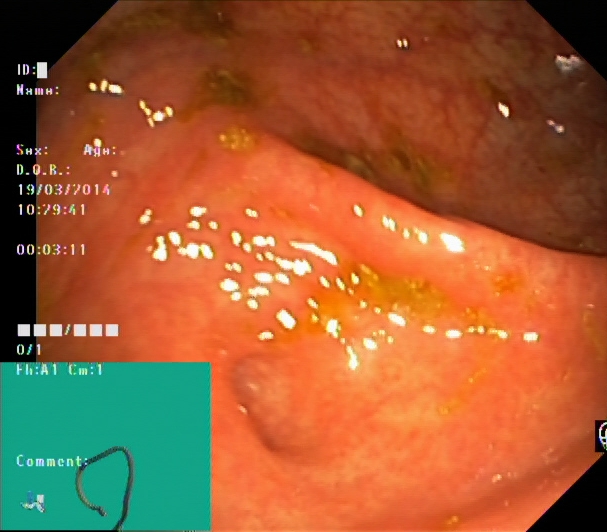cecum.